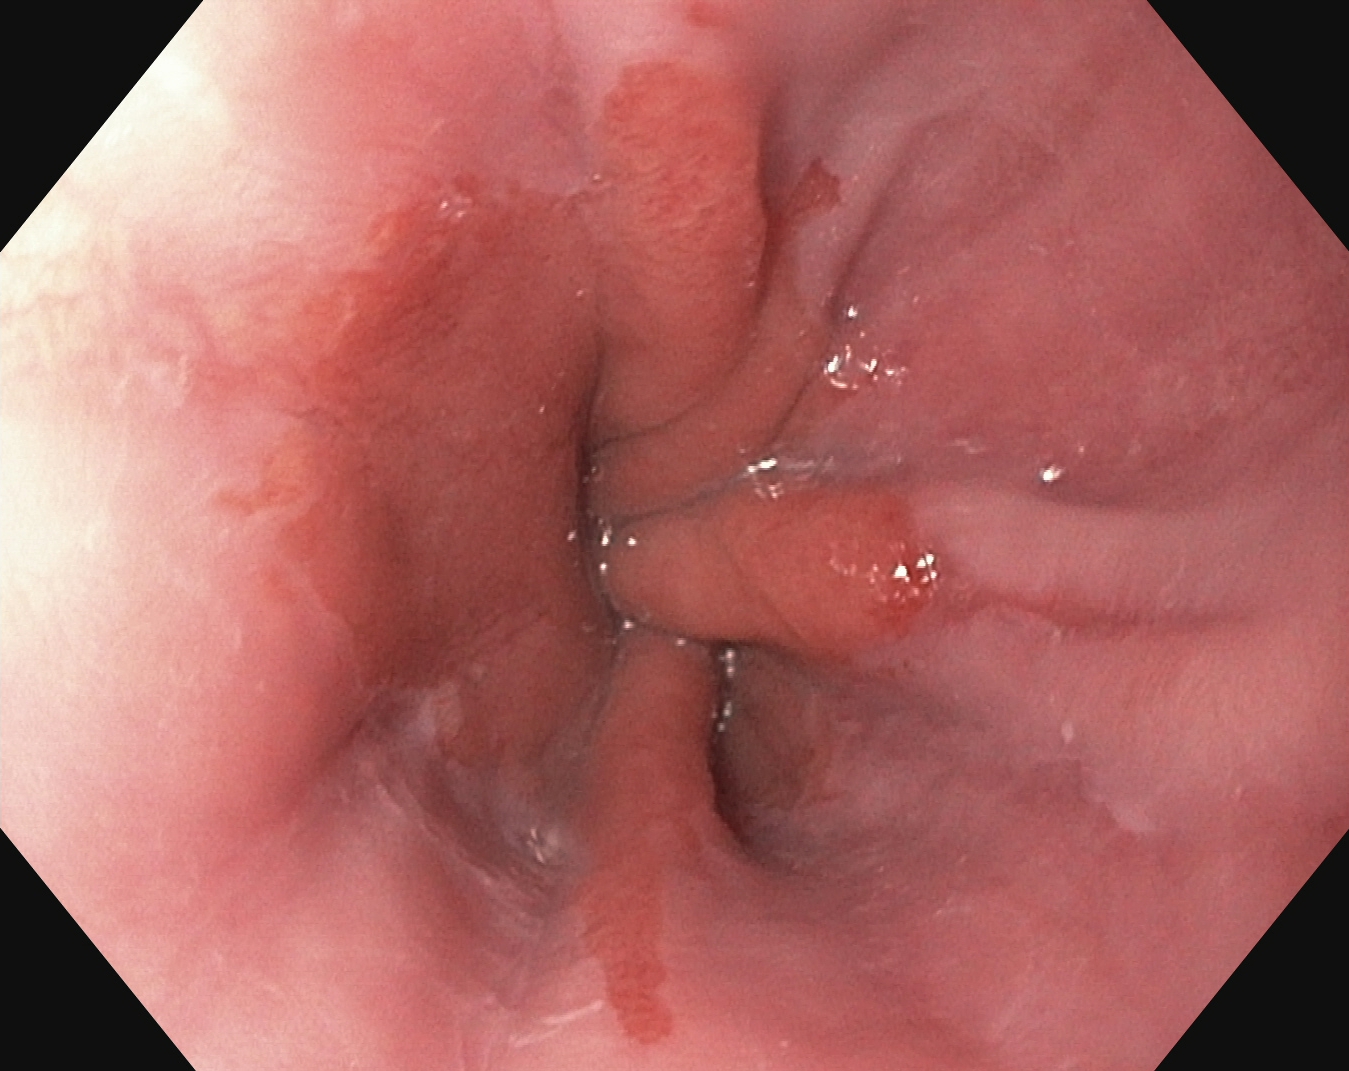reflux esophagitis, LA grade A.